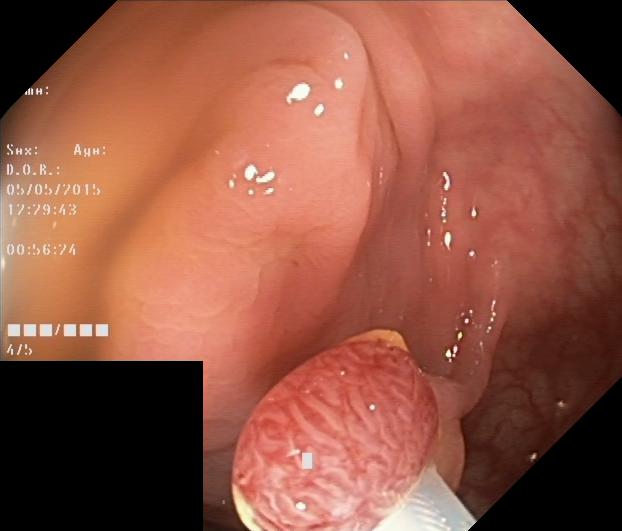modality: colonoscopy | tract: lower GI tract | finding: colorectal polyp(s)